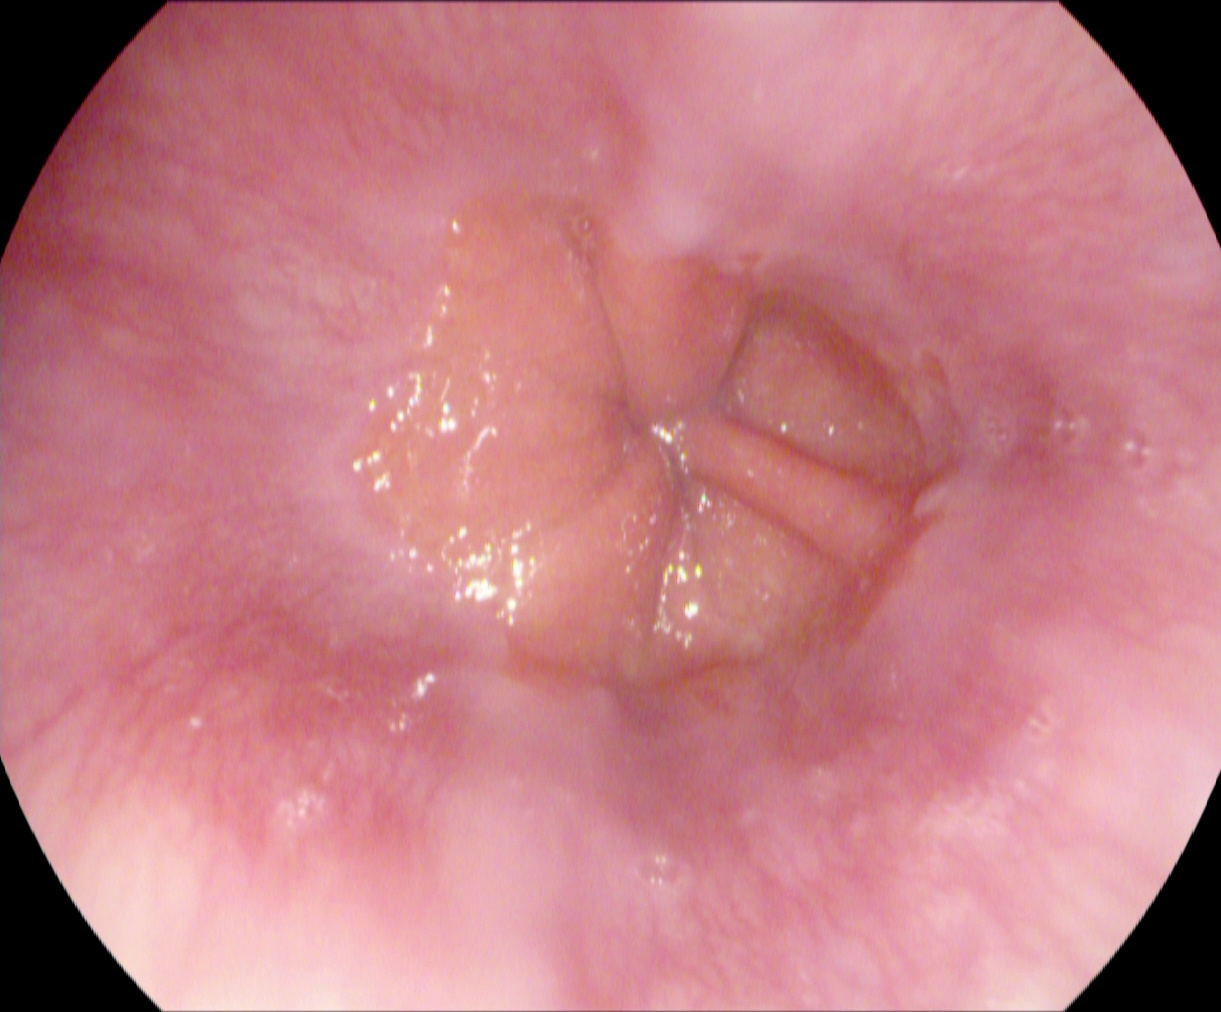Endoscopic frame showing Z-line (gastroesophageal junction).